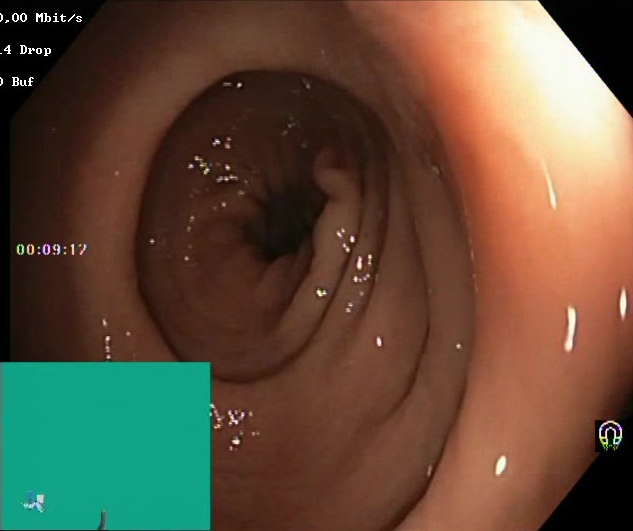{"modality": "lower-GI endoscopy", "tract": "lower GI tract", "finding": "Boston Bowel Preparation Scale score 2\u20133 (adequate preparation)"}